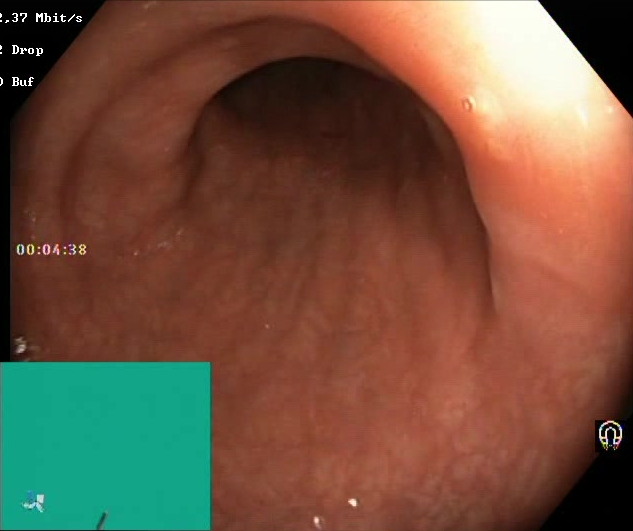BBPS score 2–3 (adequate preparation).